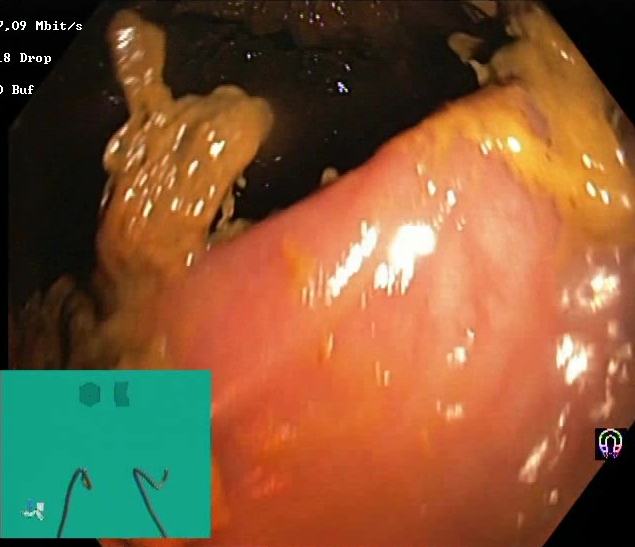This endoscopy frame of the lower GI tract shows Boston Bowel Preparation Scale score 0–1 (inadequate preparation).